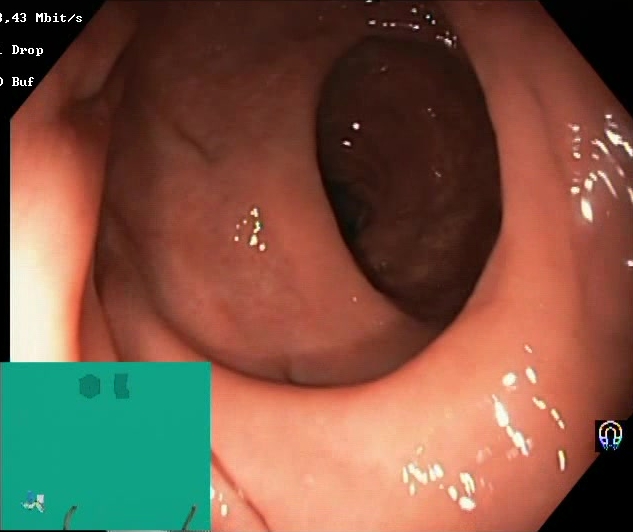{"modality": "lower gastrointestinal endoscopy", "tract": "lower GI tract", "finding": "BBPS score 2\u20133 (adequate preparation)"}